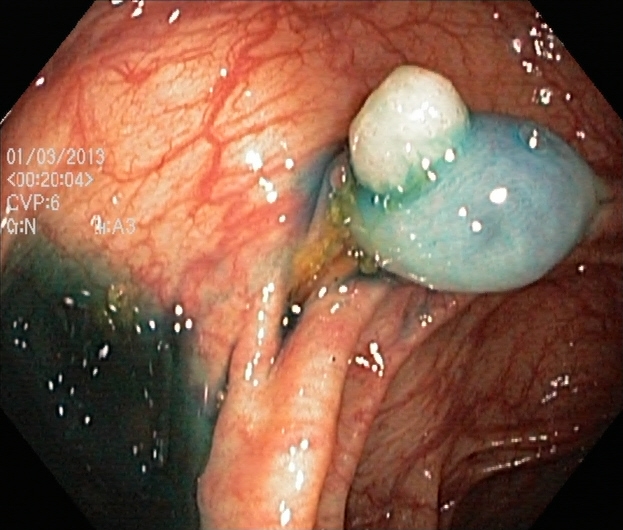{"modality": "colonoscopy", "tract": "lower GI tract", "category": "therapeutic intervention", "finding": "dyed and lifted polyp (pre-resection)"}